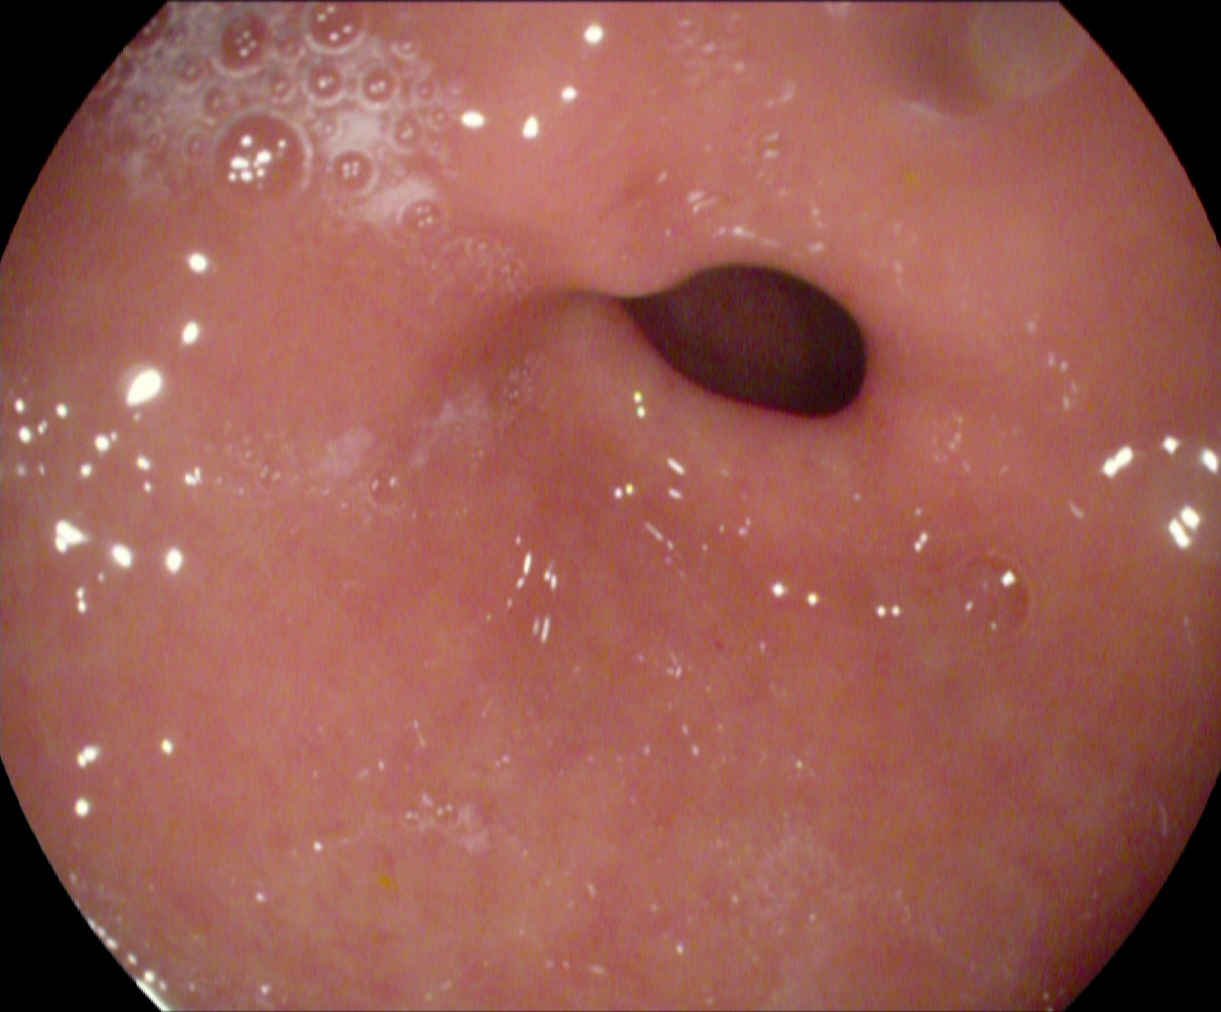PROCEDURE: EGD.
FINDINGS: Pylorus.